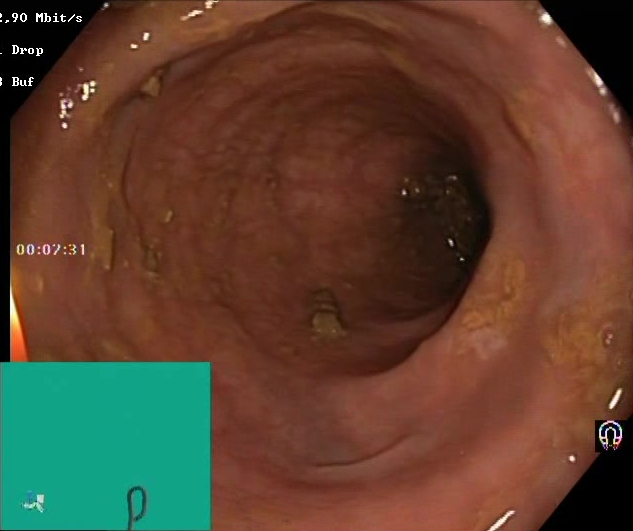Boston Bowel Preparation Scale score 2–3 (adequate preparation).